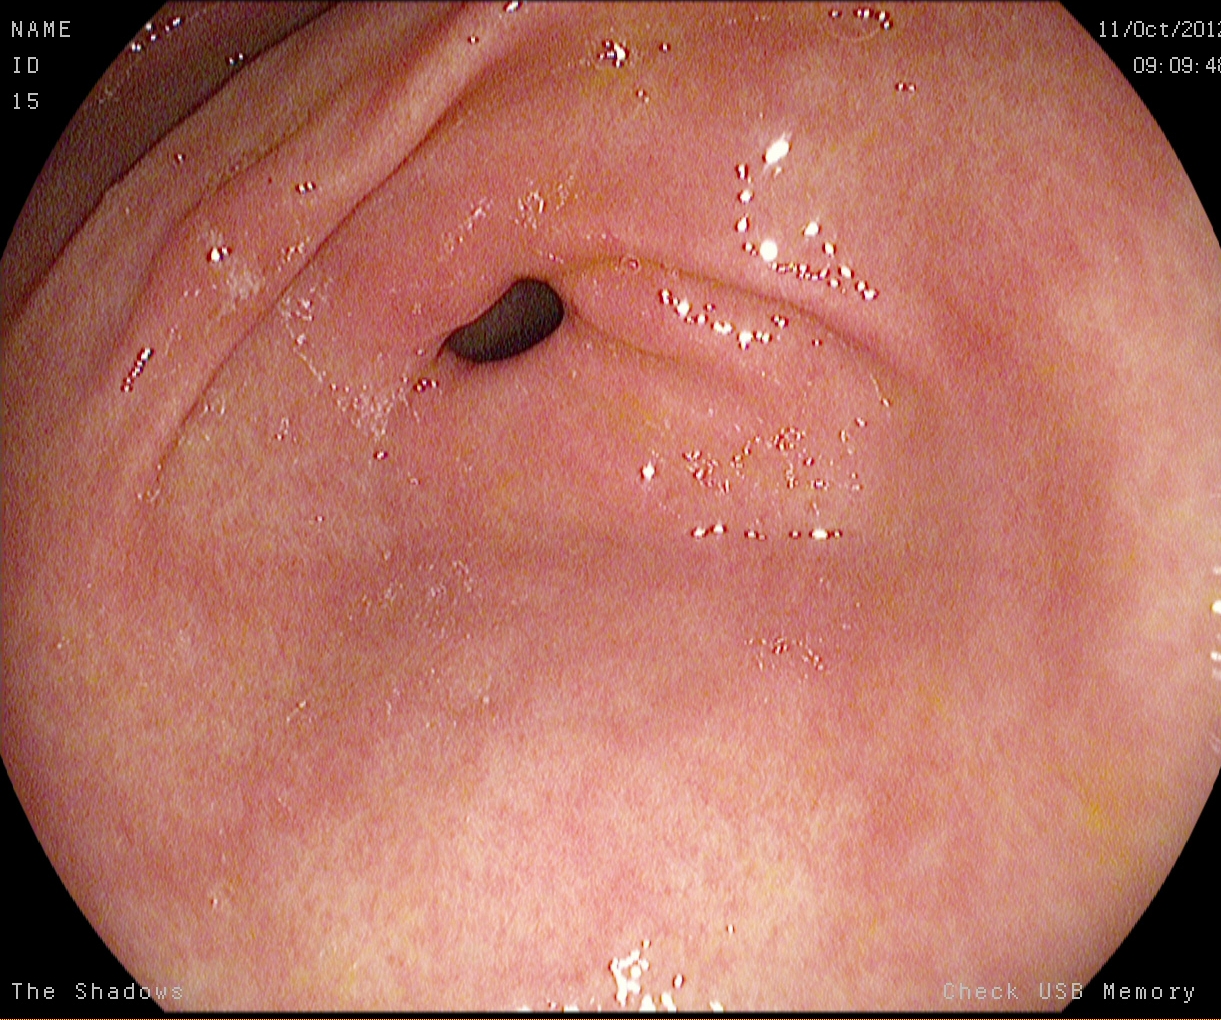Upper-GI endoscopy — pylorus.